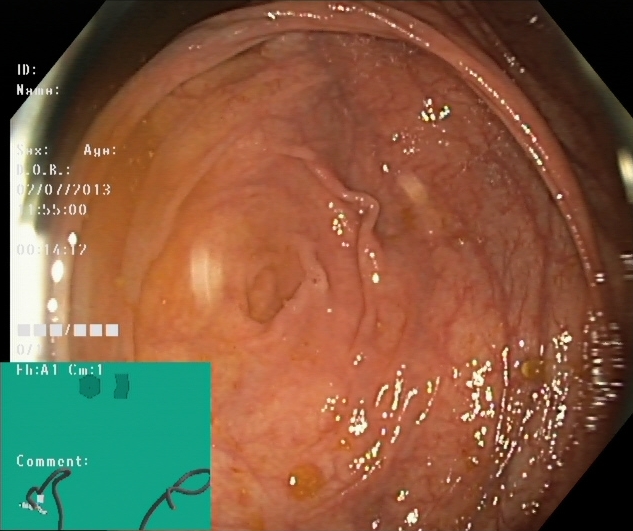Endoscopy image of the lower GI tract showing cecum.